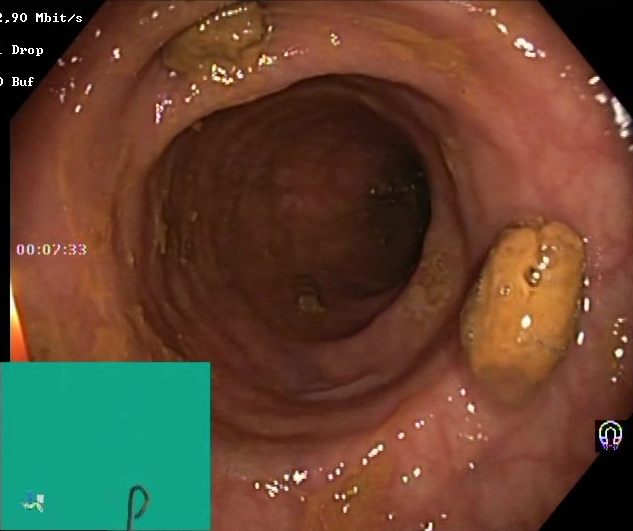Colonoscopy — impacted stool.